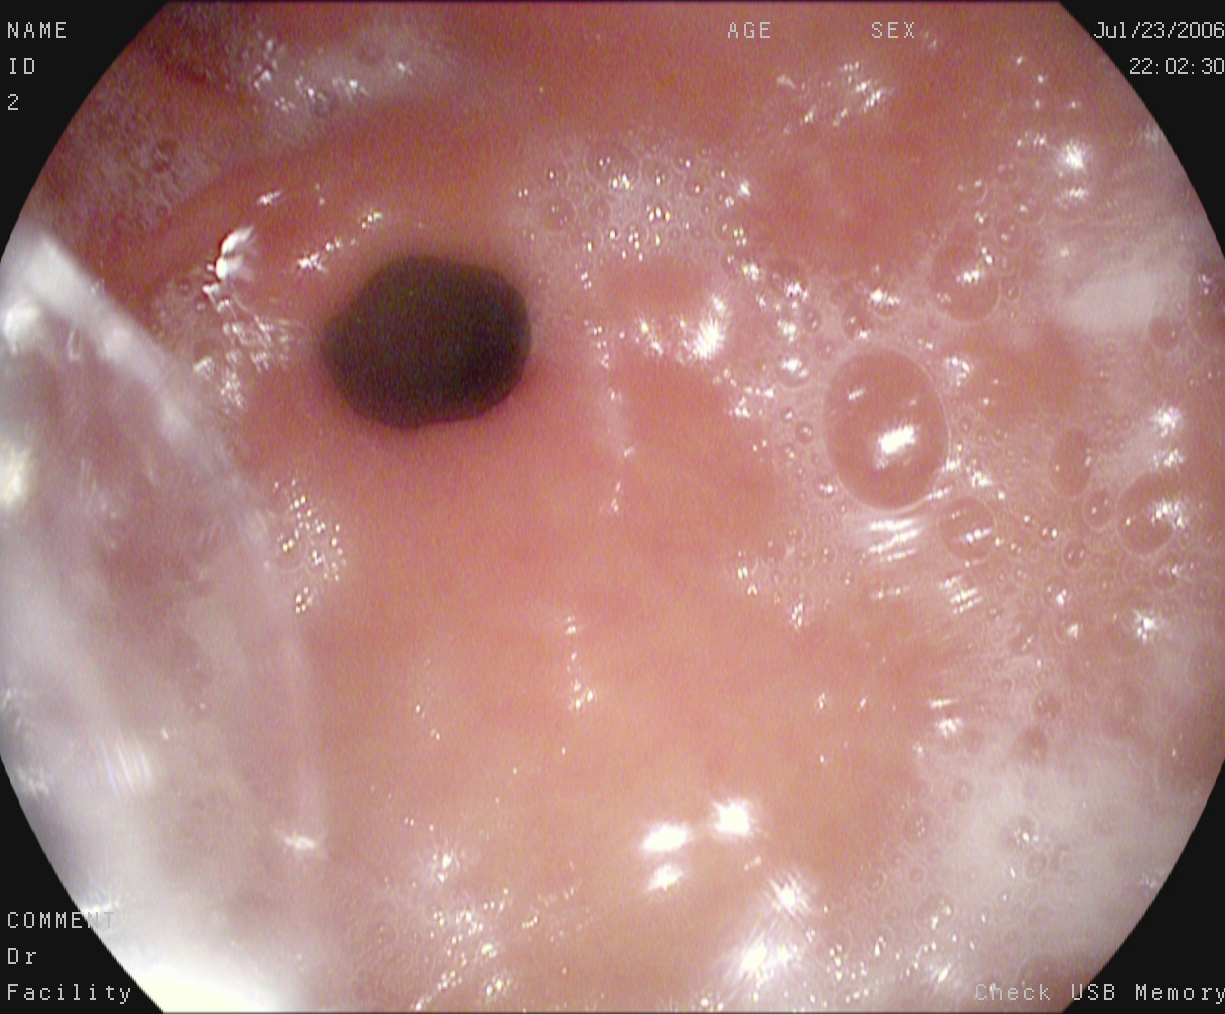Upper-GI endoscopy image of the upper GI tract showing pylorus.